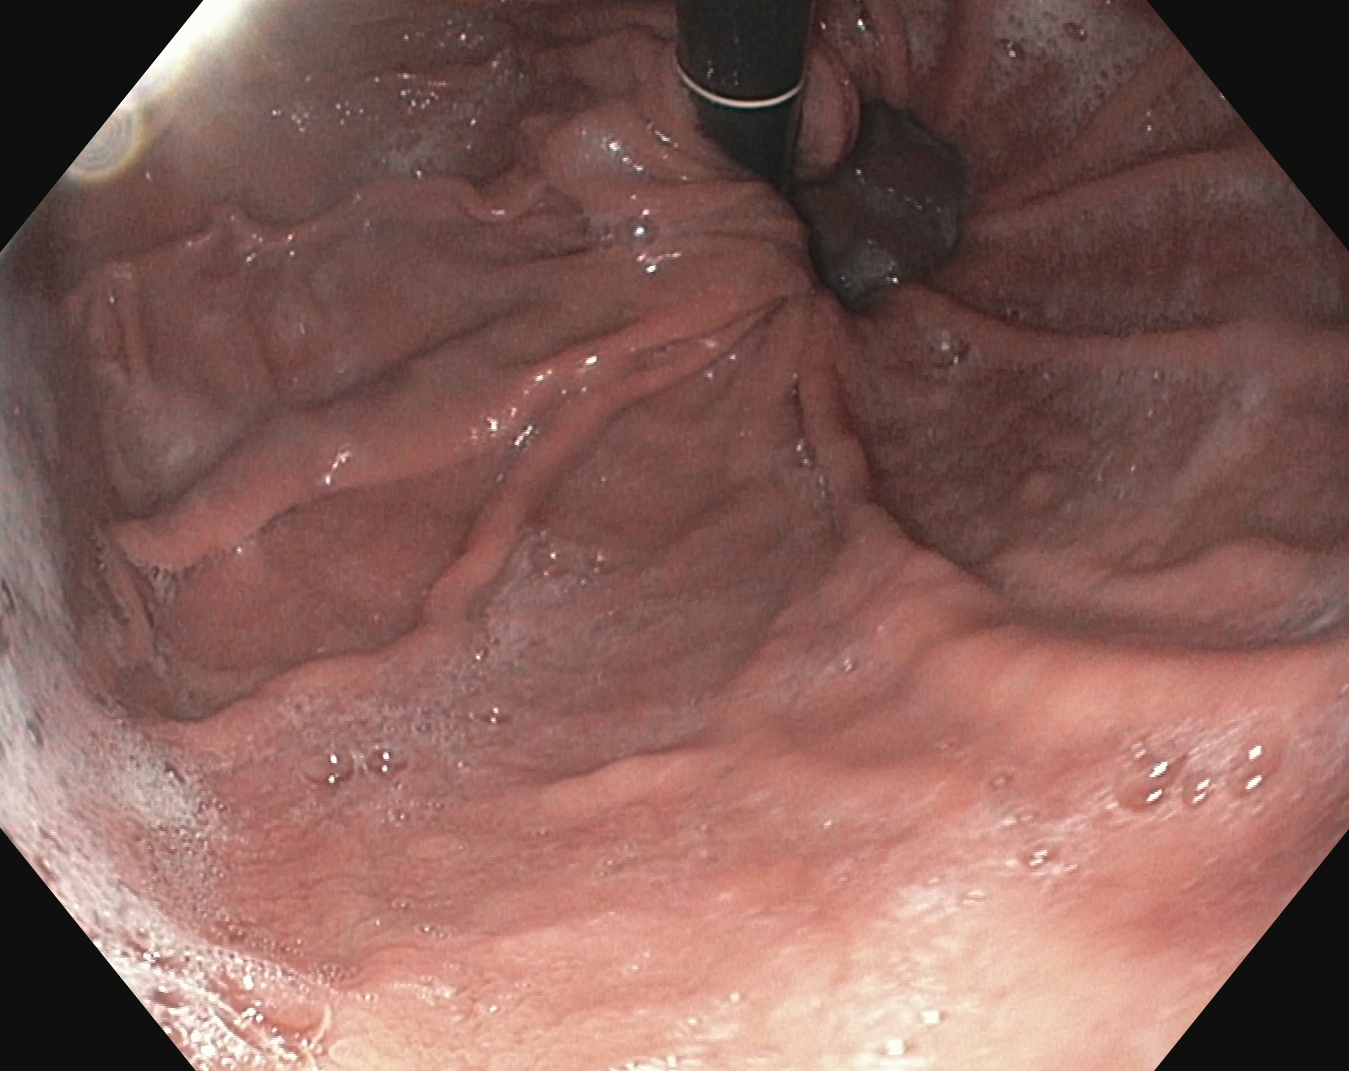Stomach in retroflexion.